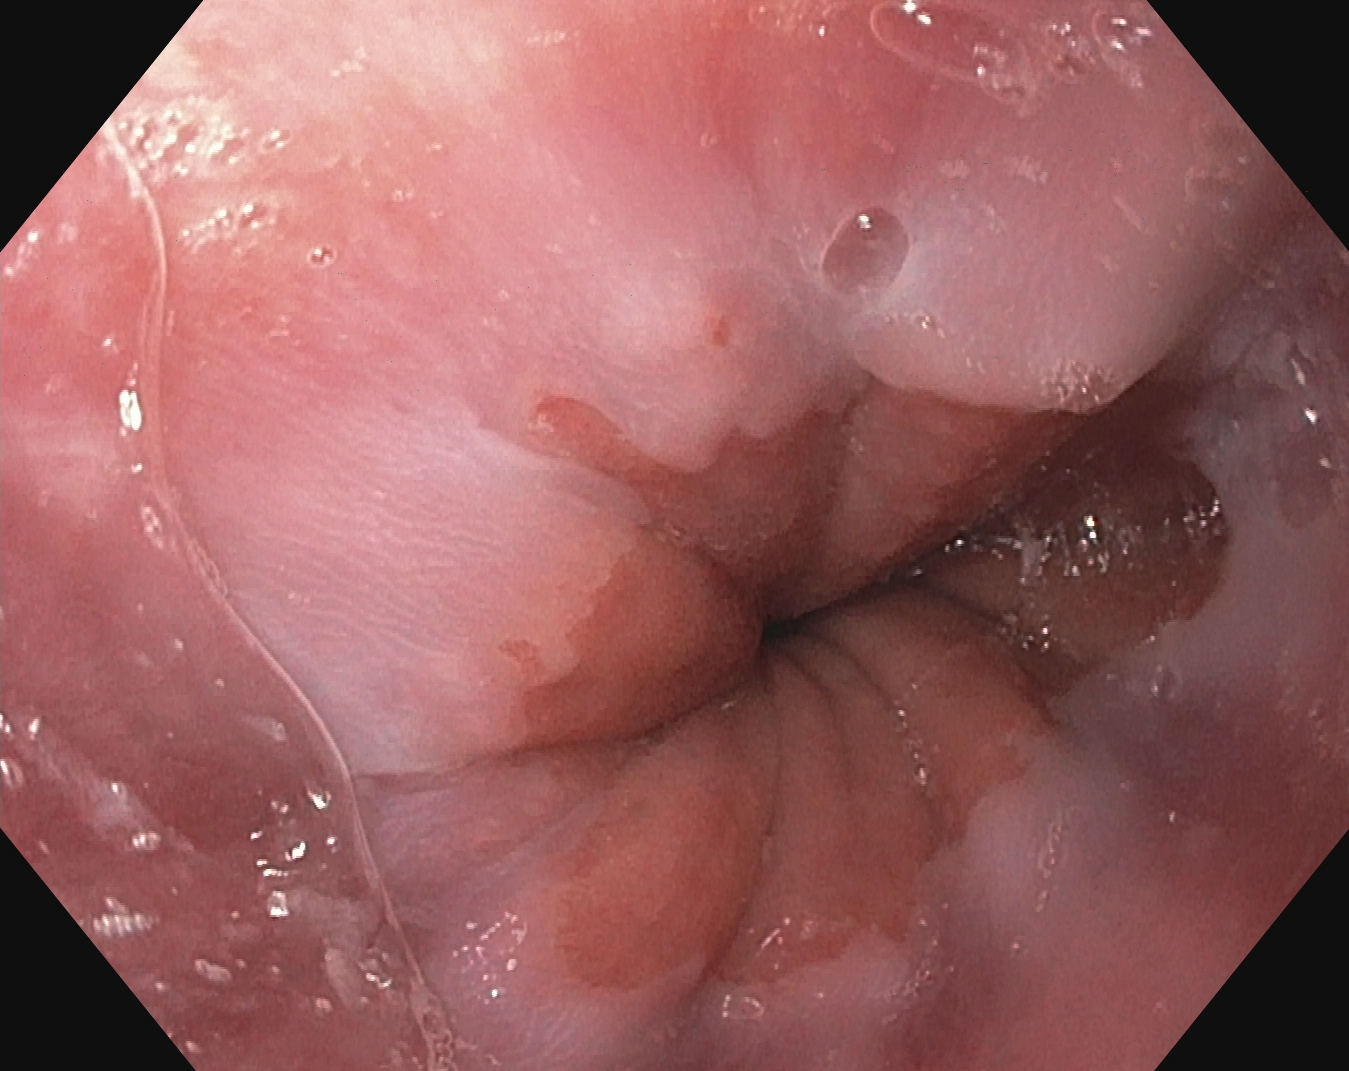Z-line (gastroesophageal junction).